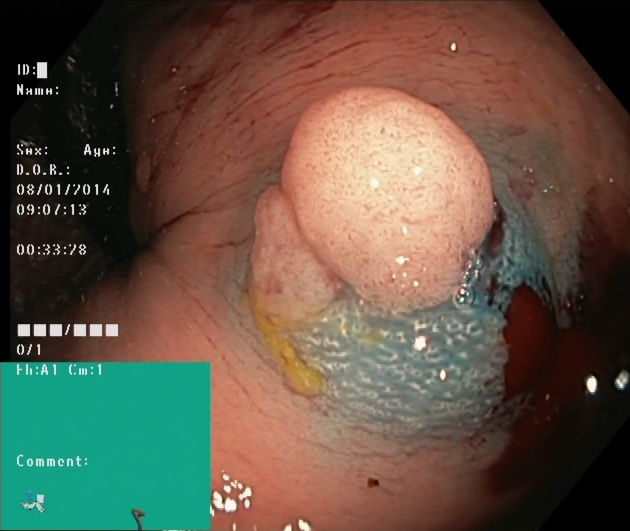PROCEDURE: Colonoscopy.
FINDINGS: Dyed and lifted polyp (pre-resection).